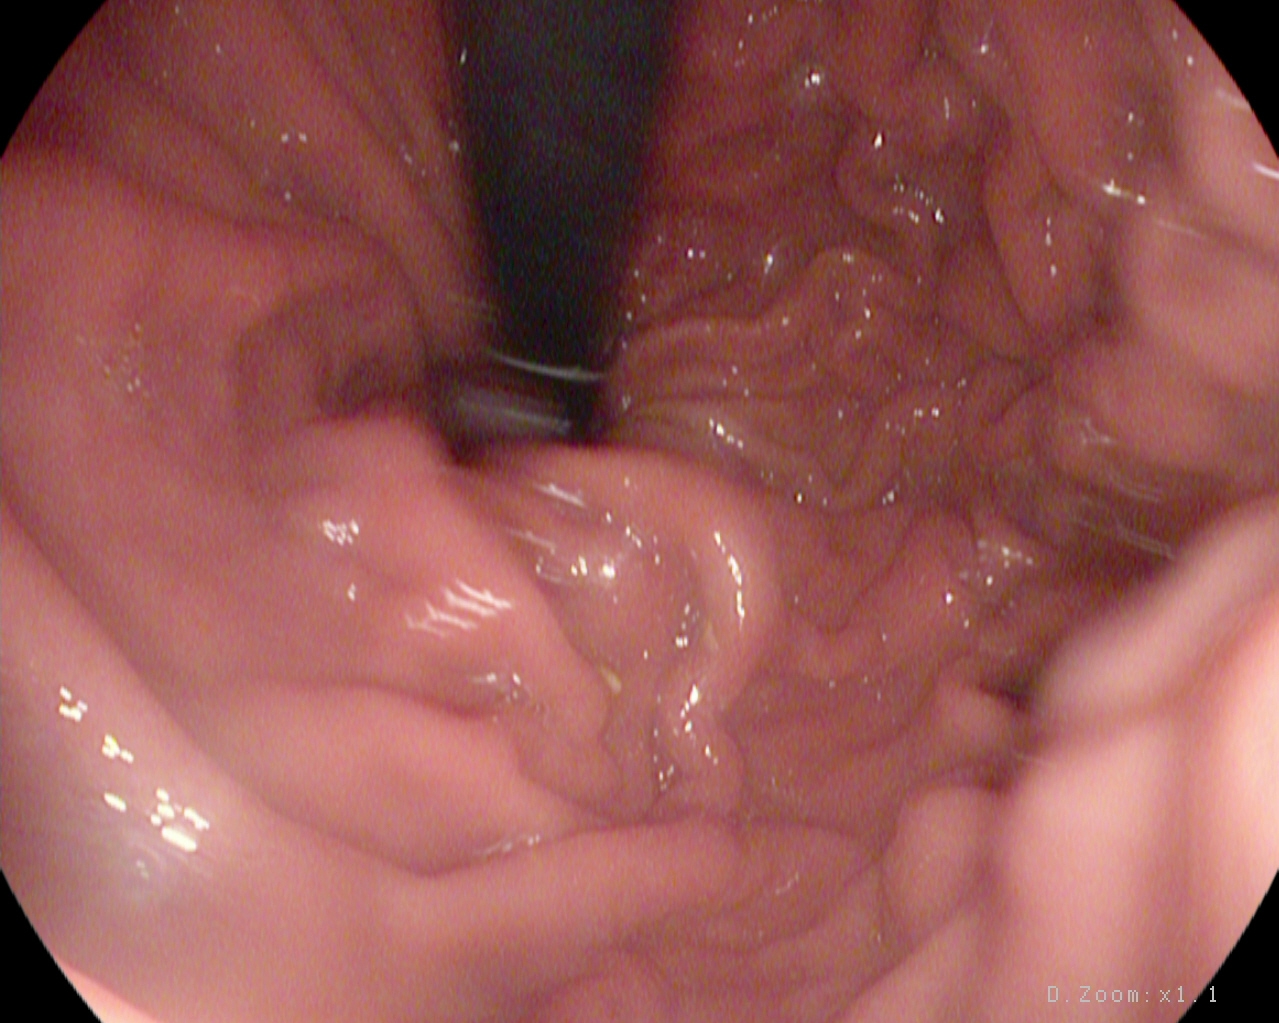This endoscopy frame of the upper GI tract shows stomach in retroflexion.